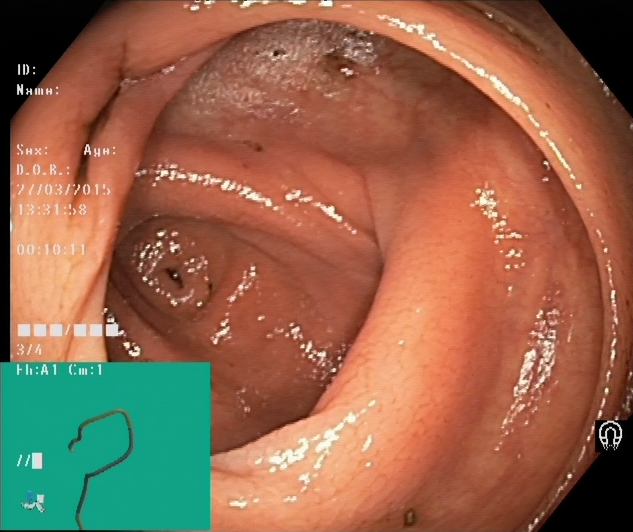cecum.